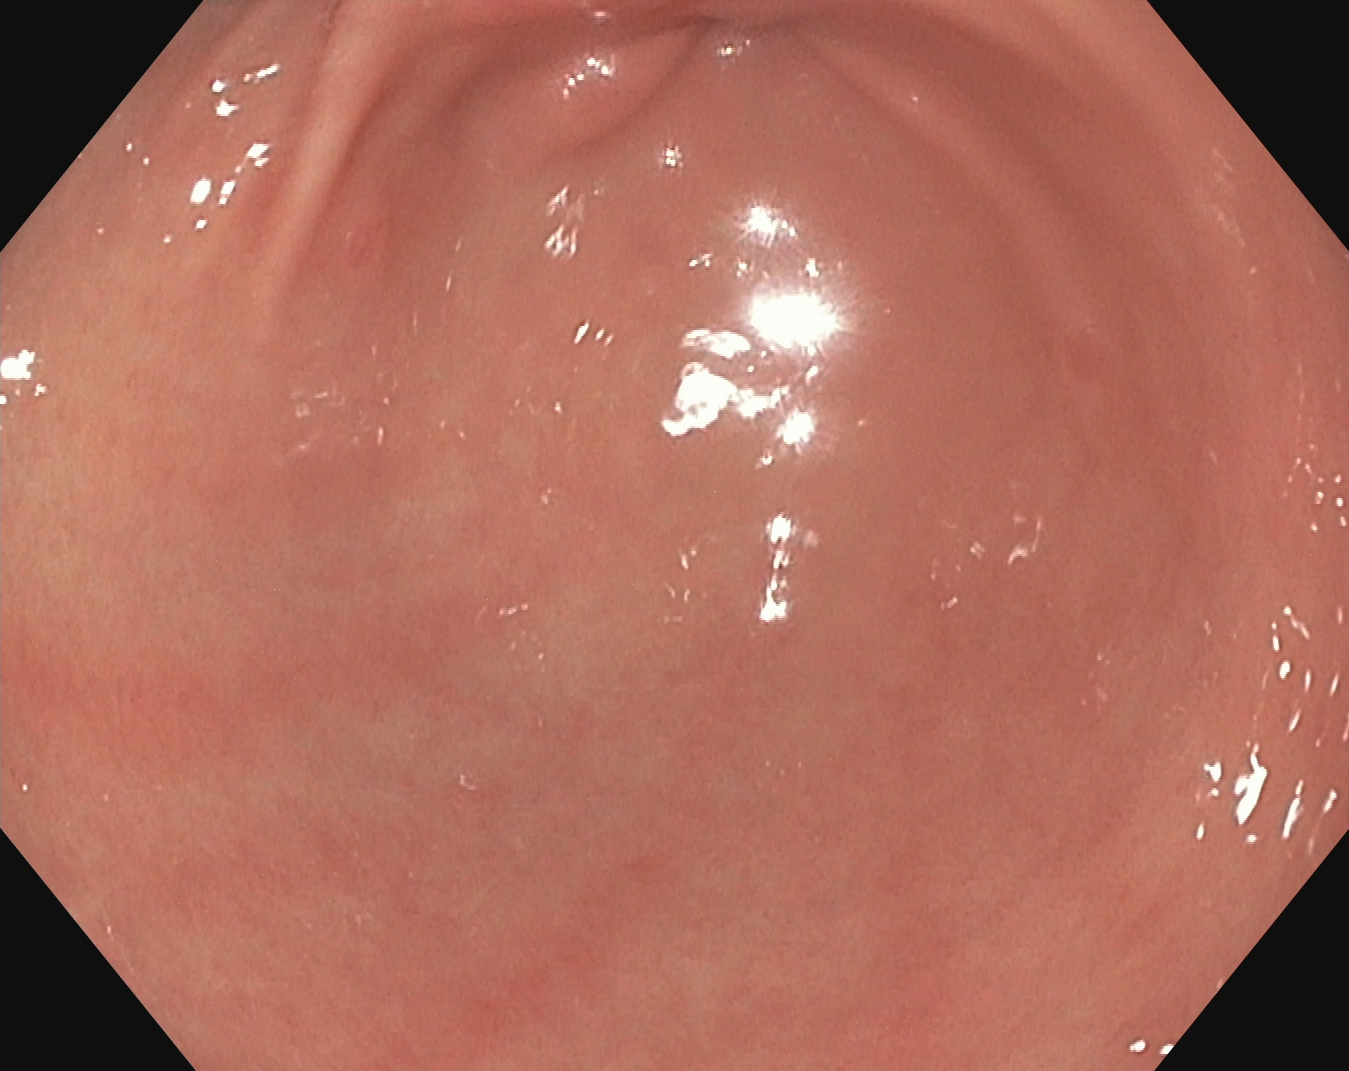EGD. Tract: upper GI tract. Finding: pylorus.